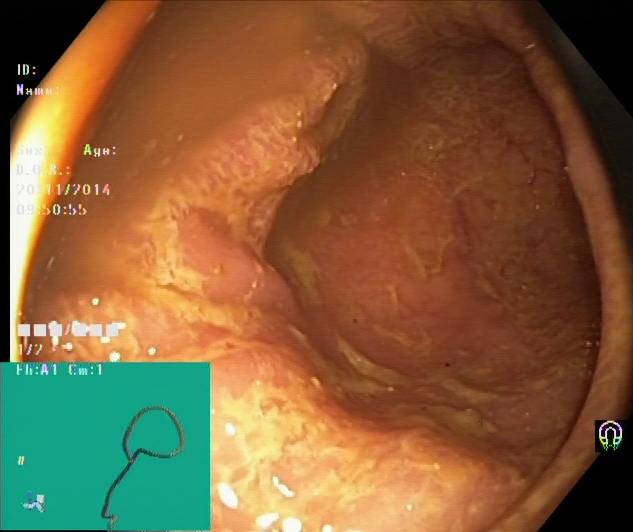modality: lower-GI endoscopy
tract: lower GI tract
category: pathological finding
finding: ulcerative colitis, Mayo endoscopic subscore 2